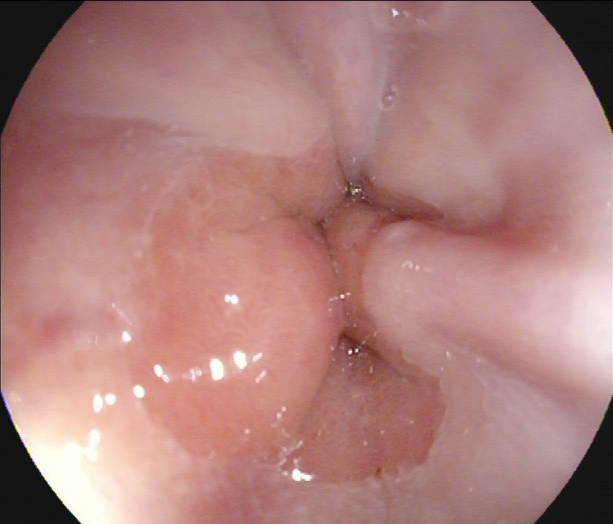PROCEDURE: Gastroscopy.
FINDINGS: Z-line (gastroesophageal junction).